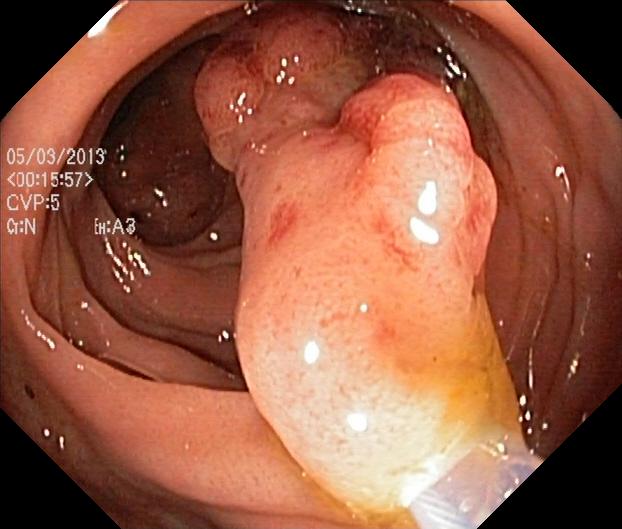Colorectal polyp(s).